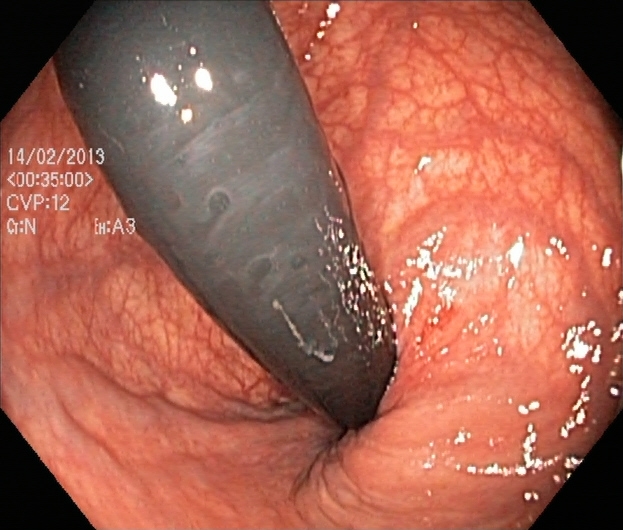Colonoscopy. Tract: lower GI tract. Anatomical landmark. Finding: rectum in retroflexion.